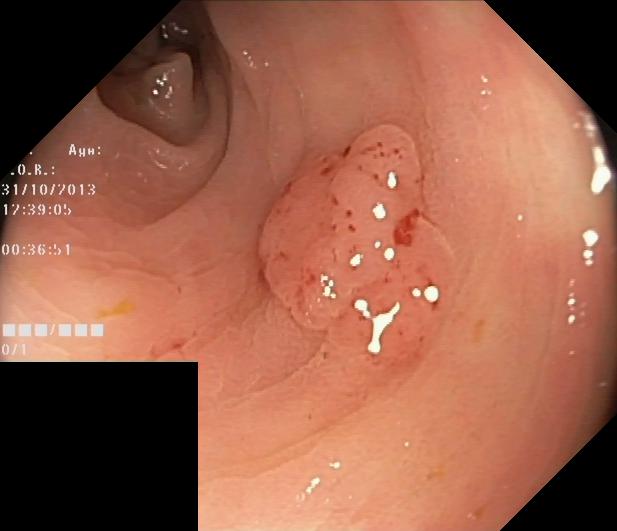Lower gastrointestinal endoscopy — colorectal polyp(s).